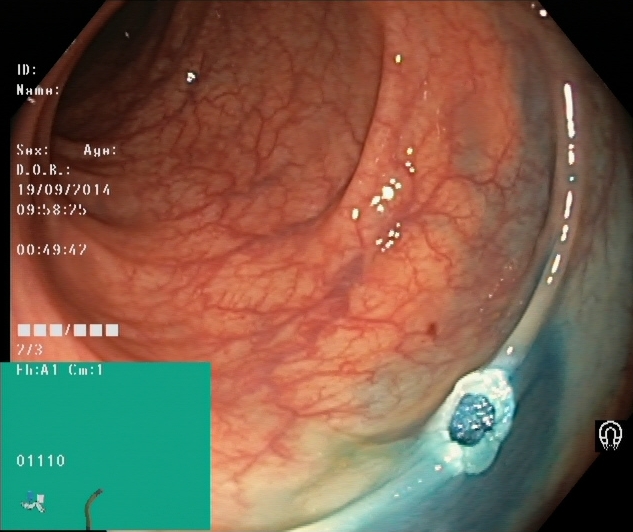This endoscopic image shows dyed resection margins (post-polypectomy).